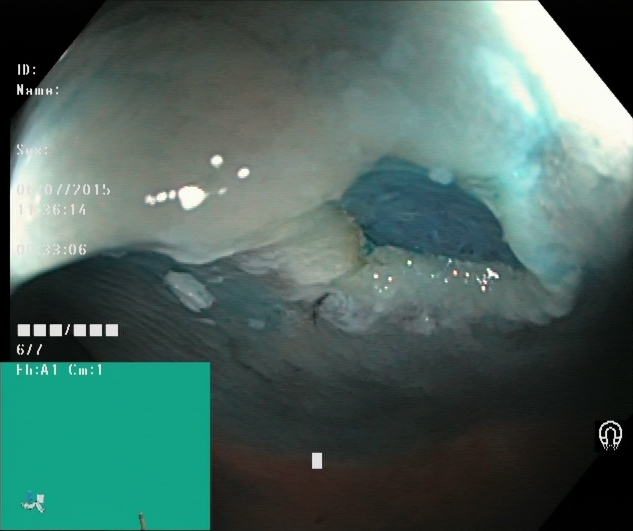This endoscopic image shows dyed resection margins (post-polypectomy).